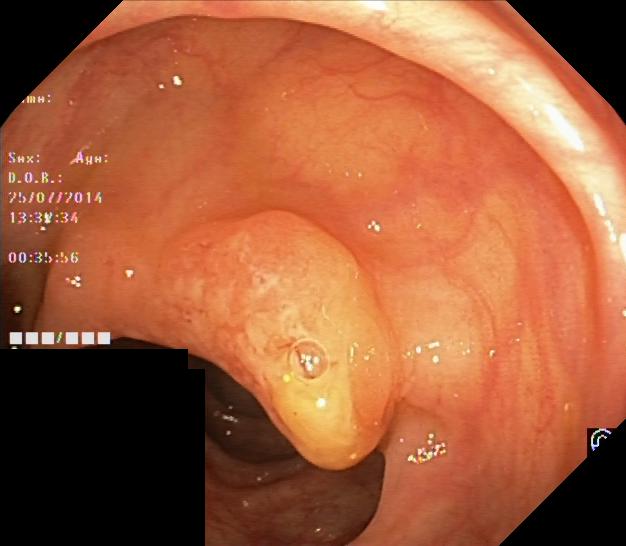Gastrointestinal endoscopy image showing colorectal polyp(s).